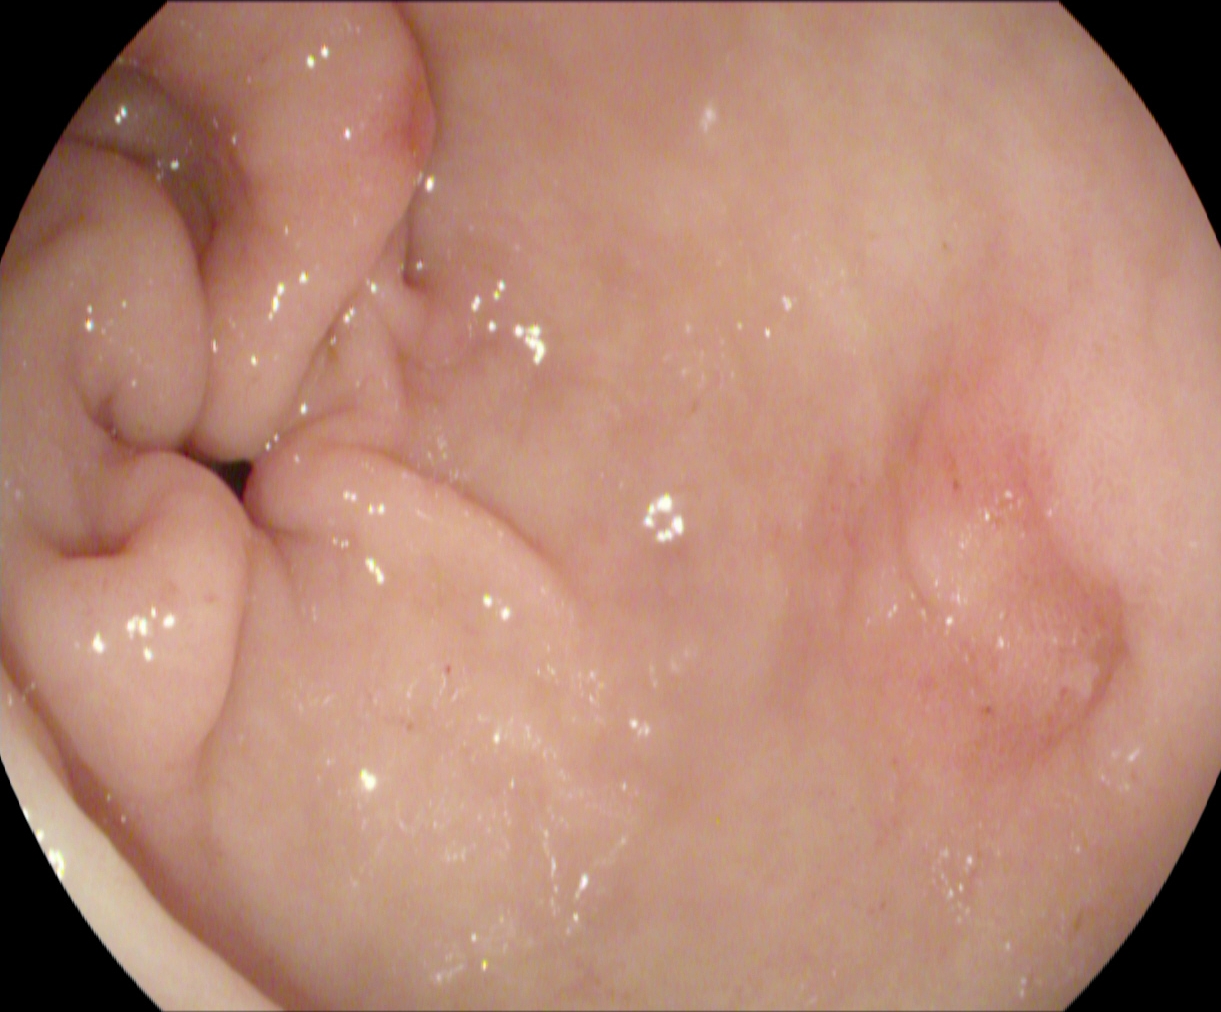This endoscopic image of the upper GI tract shows pylorus.